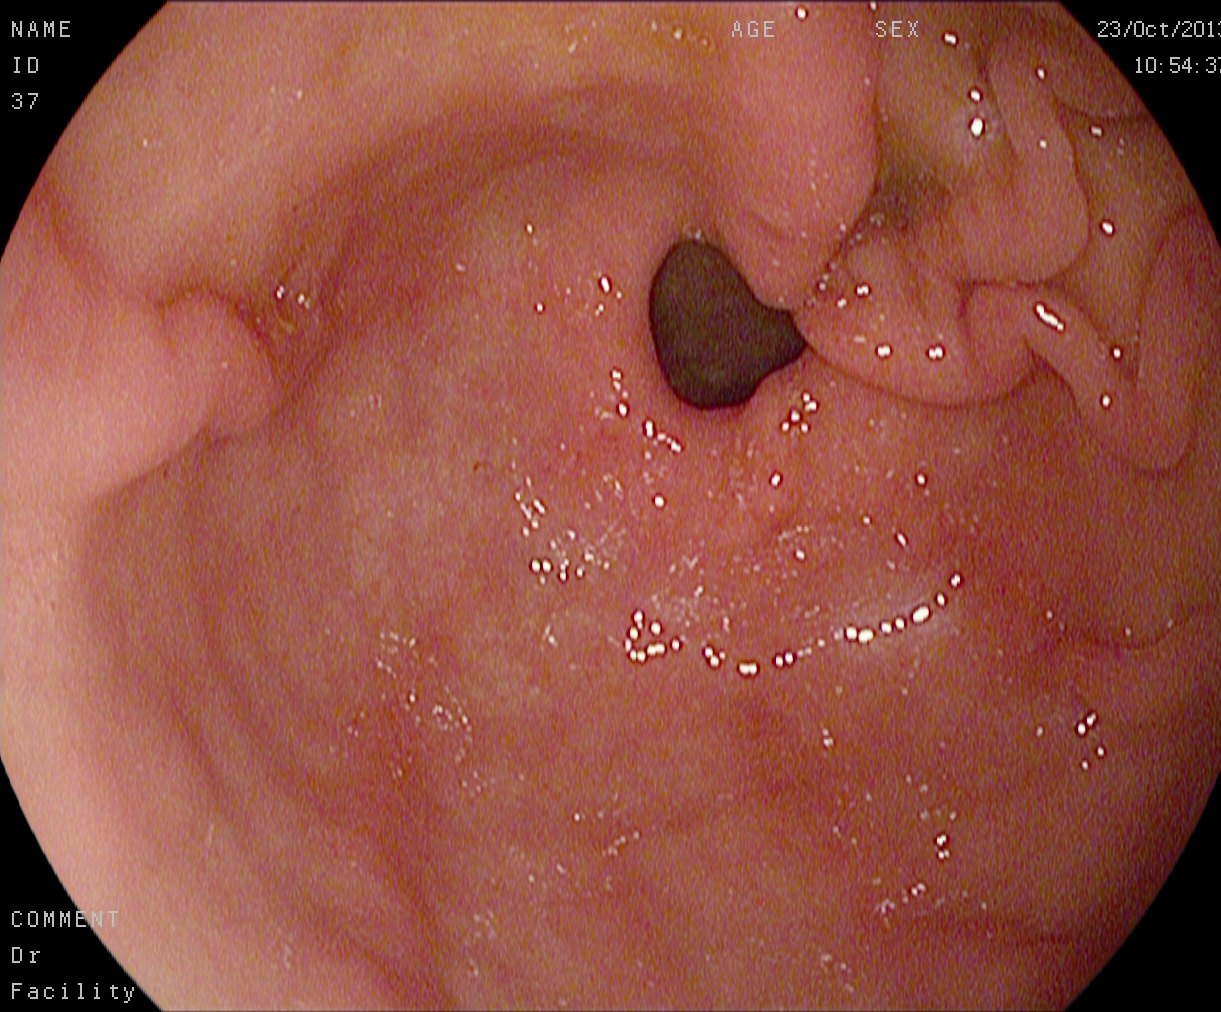modality: upper-GI endoscopy
tract: upper GI tract
finding: pylorus